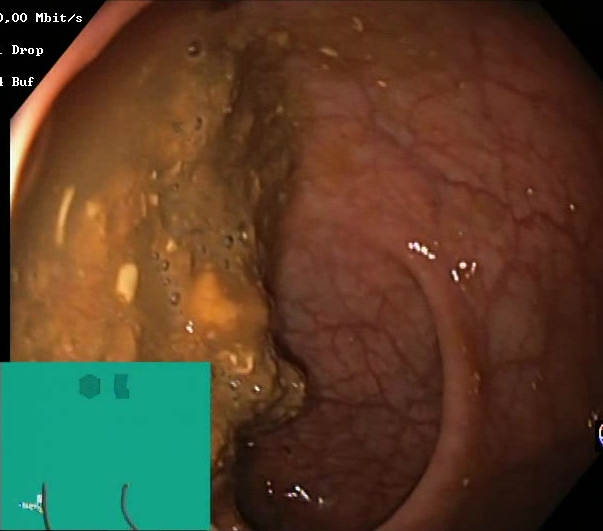Colonoscopy — Boston Bowel Preparation Scale score 0–1 (inadequate preparation).